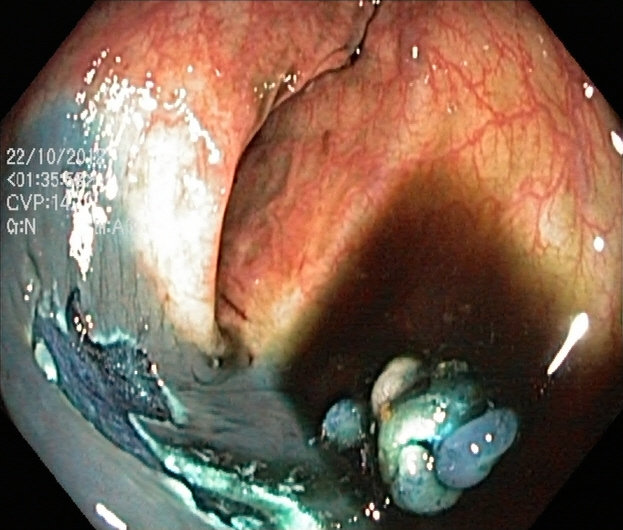Lower gastrointestinal endoscopy image showing dyed and lifted polyp (pre-resection).